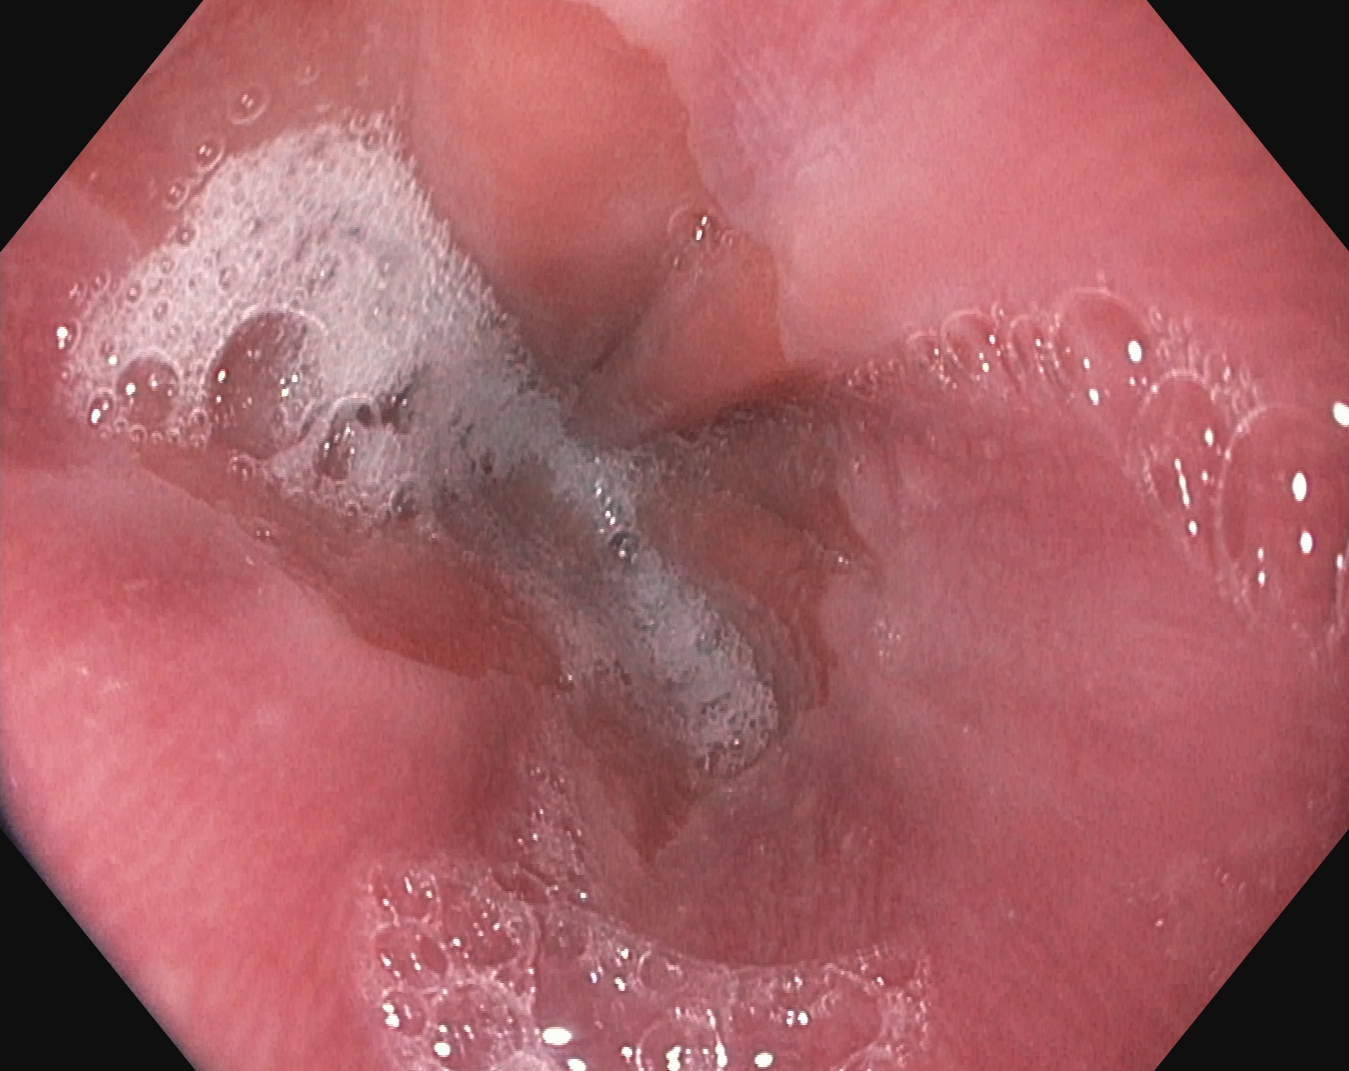This endoscopy frame shows Z-line (gastroesophageal junction).